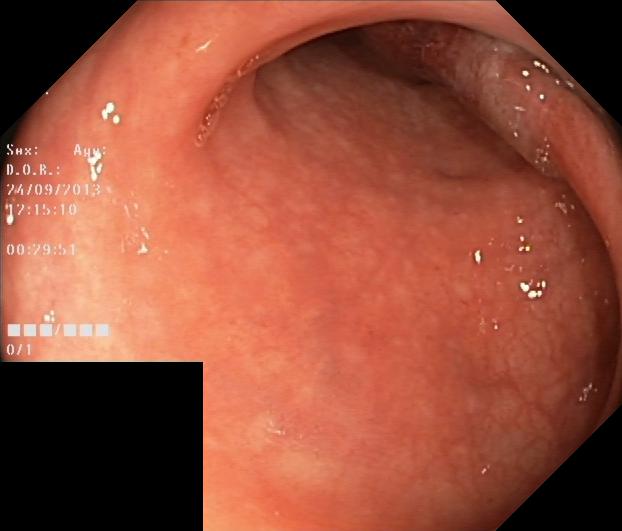modality: lower gastrointestinal endoscopy
tract: lower GI tract
finding: colorectal polyp(s)